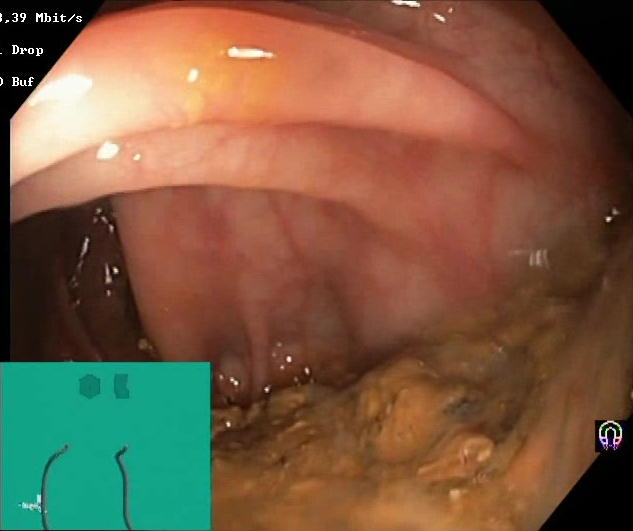modality: lower gastrointestinal endoscopy | tract: lower GI tract | finding: Boston Bowel Preparation Scale score 0–1 (inadequate preparation)